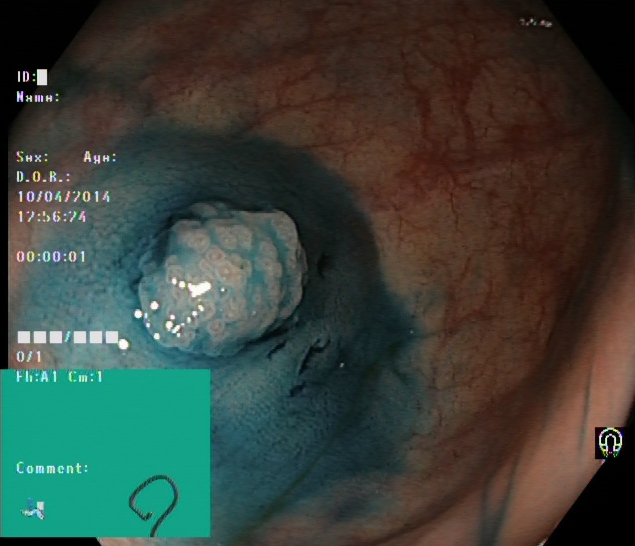PROCEDURE: Colonoscopy.
FINDINGS: Dyed and lifted polyp (pre-resection).